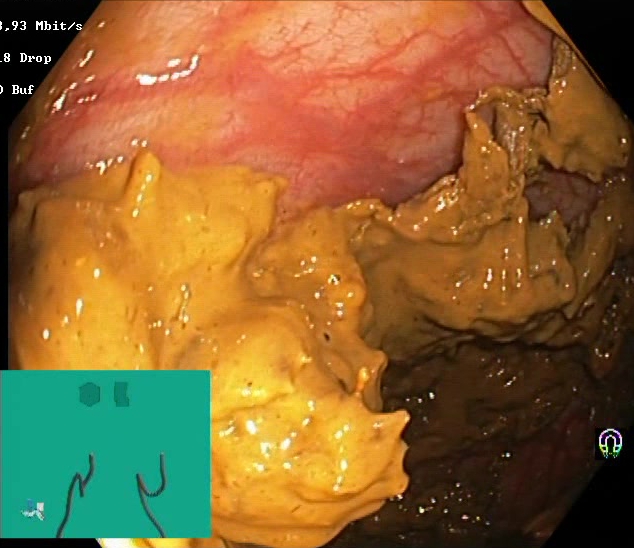Lower gastrointestinal endoscopy. Tract: lower GI tract. Finding: Boston Bowel Preparation Scale score 0–1 (inadequate preparation).